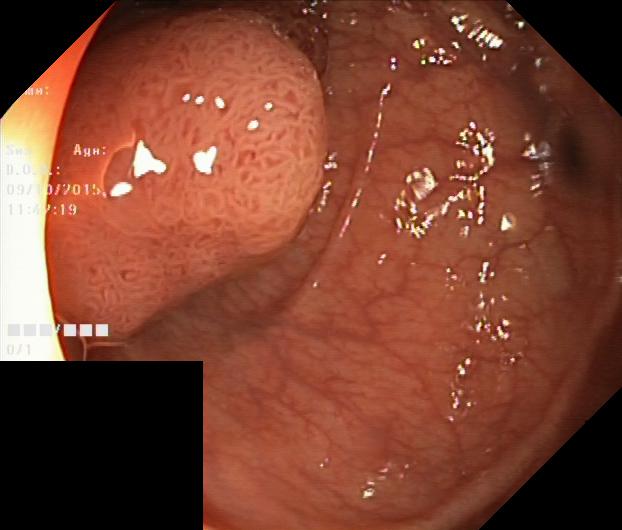PROCEDURE: Lower gastrointestinal endoscopy.
FINDINGS: Colorectal polyp(s).